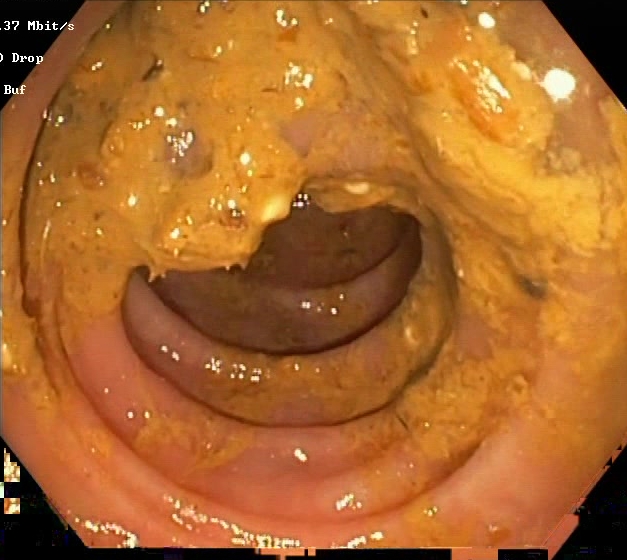modality: colonoscopy | tract: lower GI tract | finding: Boston Bowel Preparation Scale score 0–1 (inadequate preparation)